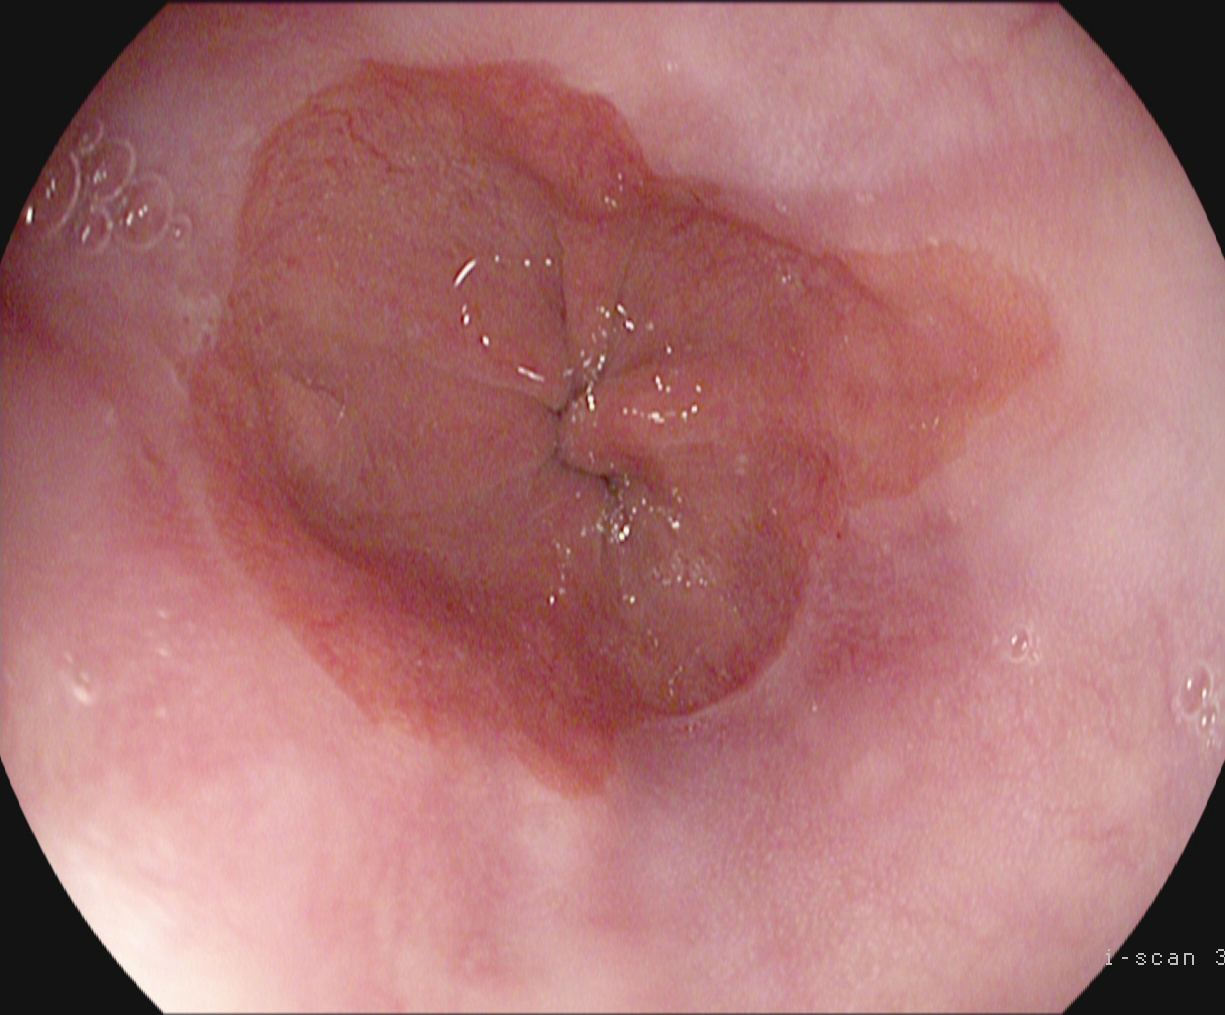Barrett's esophagus.